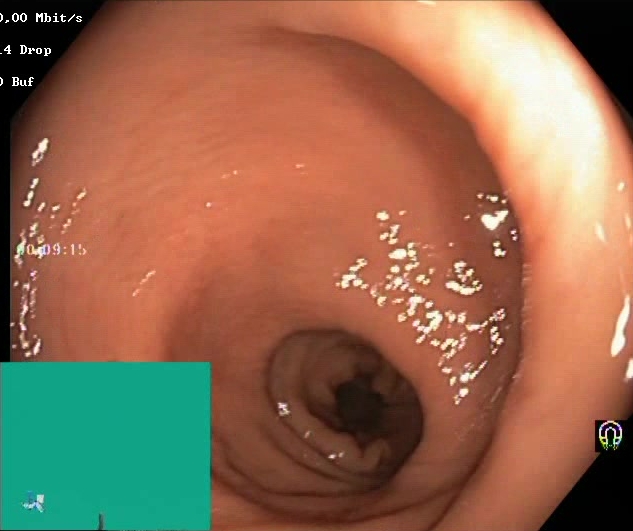Lower gastrointestinal endoscopy — Boston Bowel Preparation Scale score 2–3 (adequate preparation).